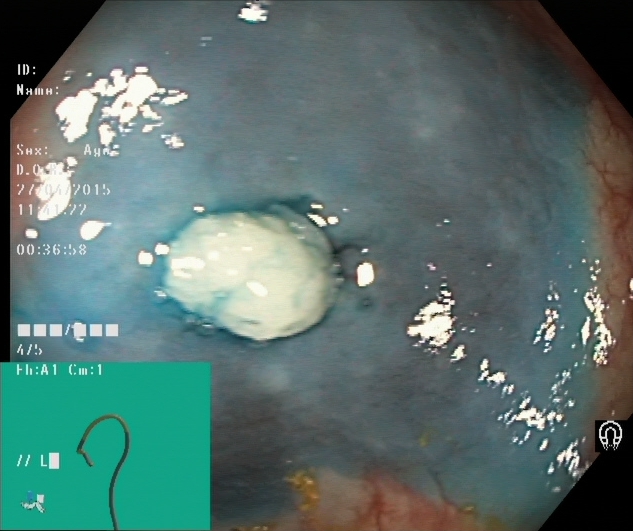{"modality": "lower-GI endoscopy", "tract": "lower GI tract", "finding": "dyed and lifted polyp (pre-resection)"}